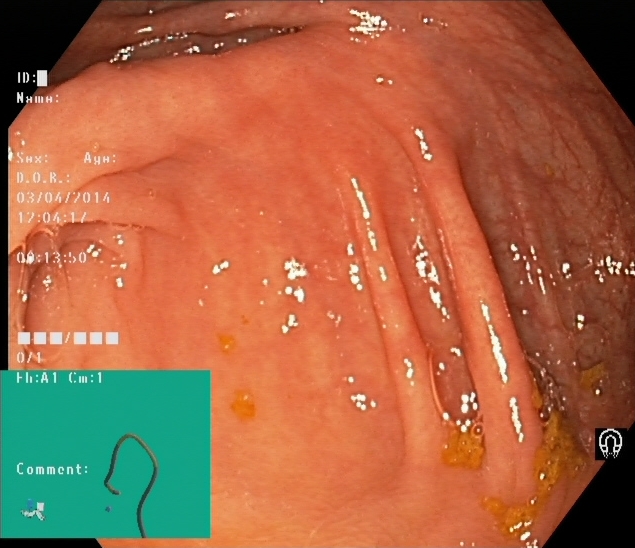Lower gastrointestinal endoscopy — cecum.